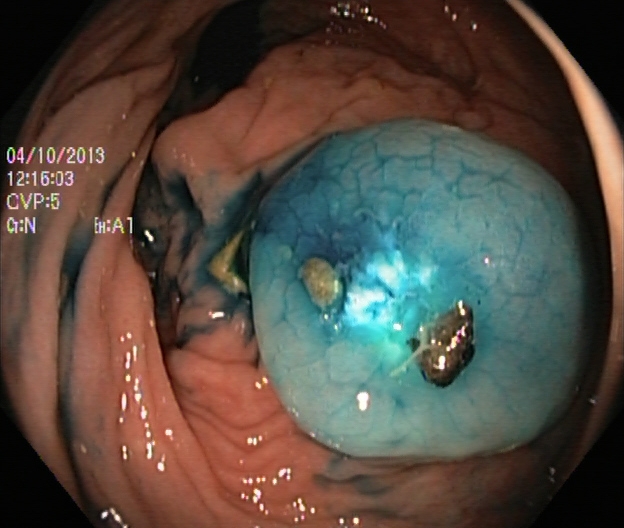{"modality": "colonoscopy", "finding": "dyed and lifted polyp (pre-resection)"}